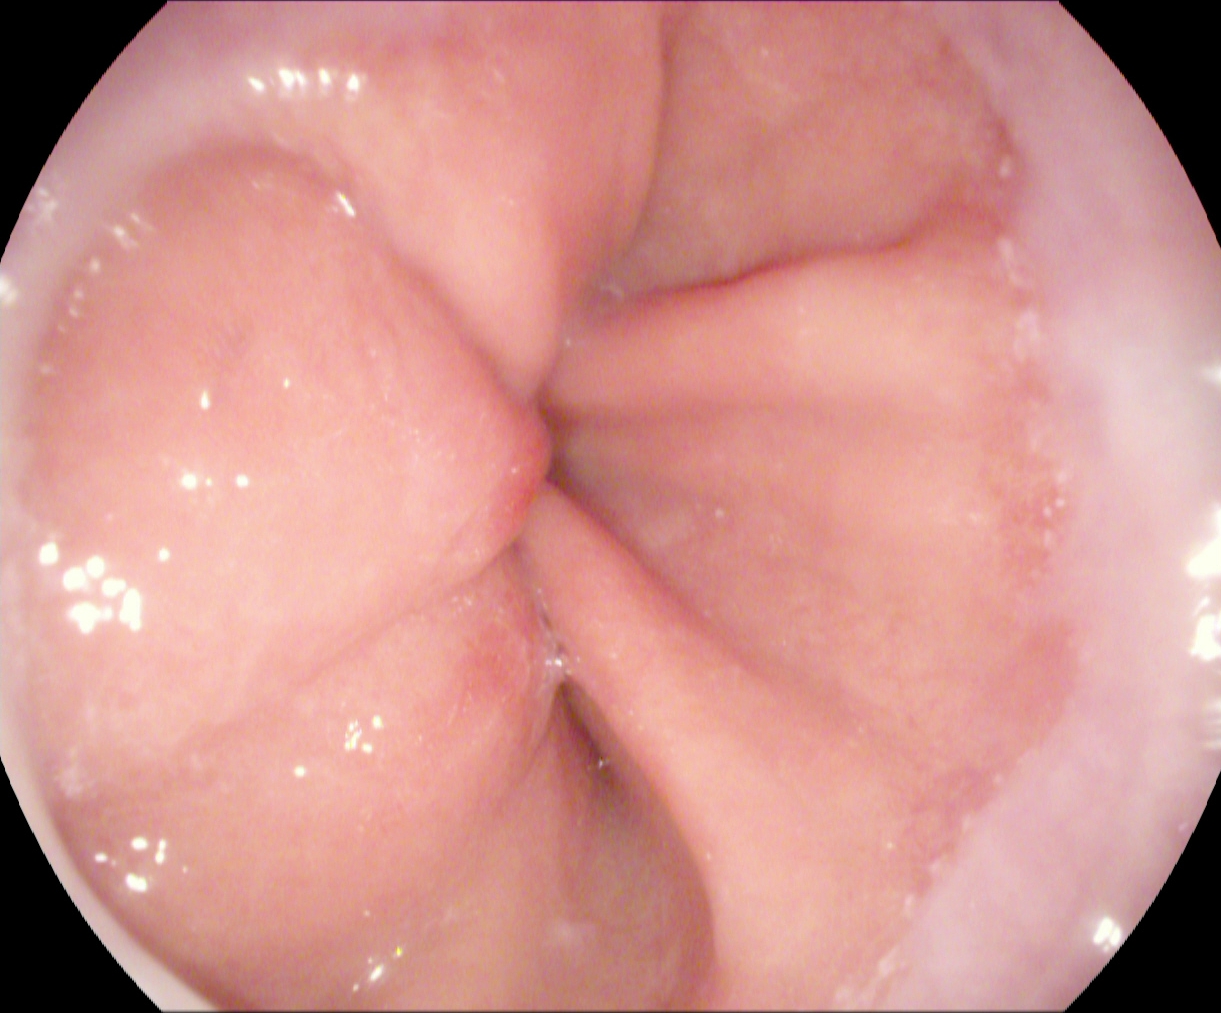PROCEDURE: Esophagogastroduodenoscopy.
FINDINGS: Z-line (gastroesophageal junction).